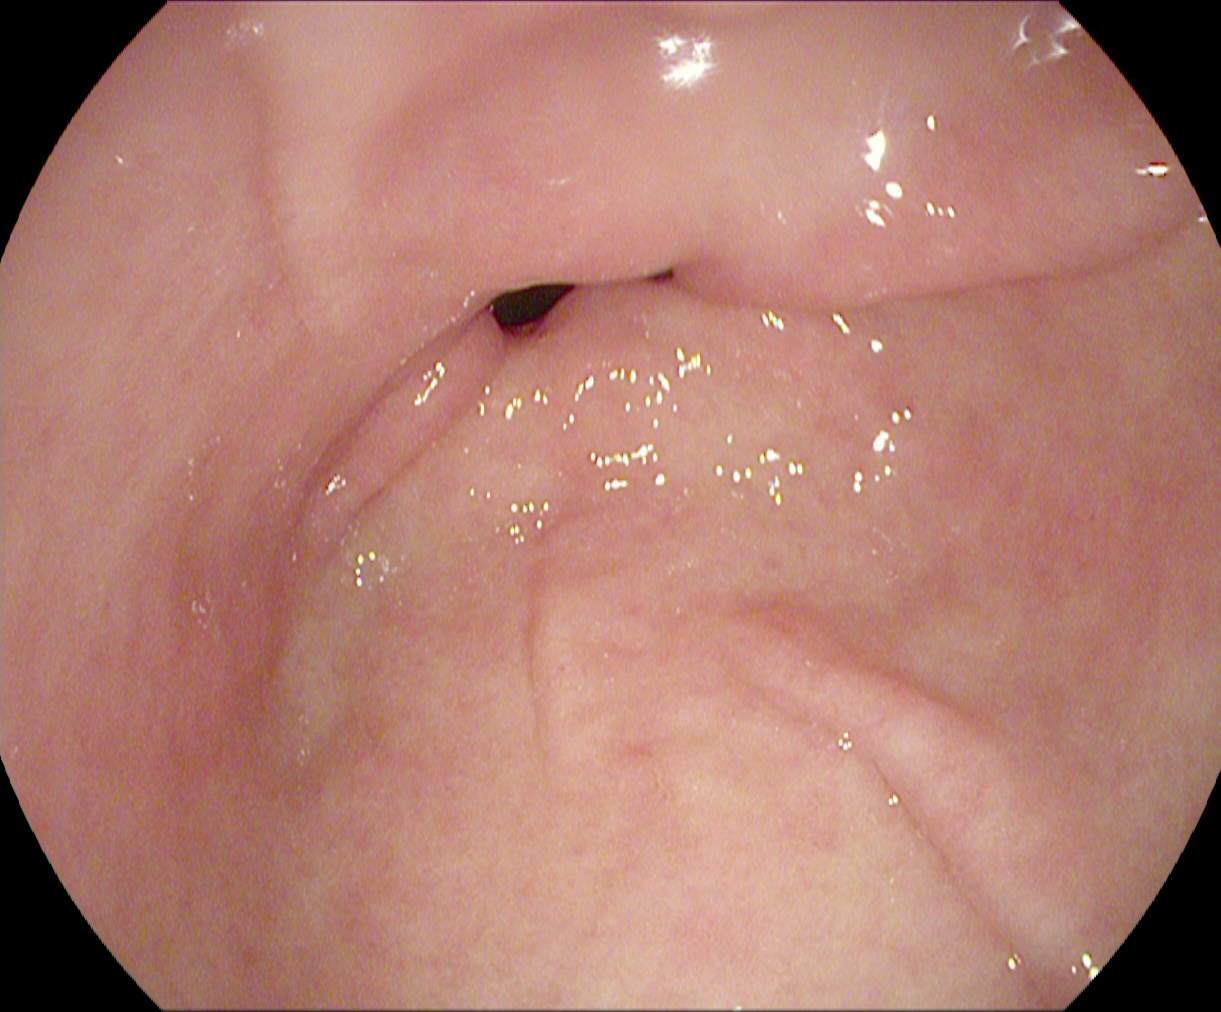{"modality": "gastroscopy", "tract": "upper GI tract", "category": "anatomical landmark", "finding": "pylorus"}